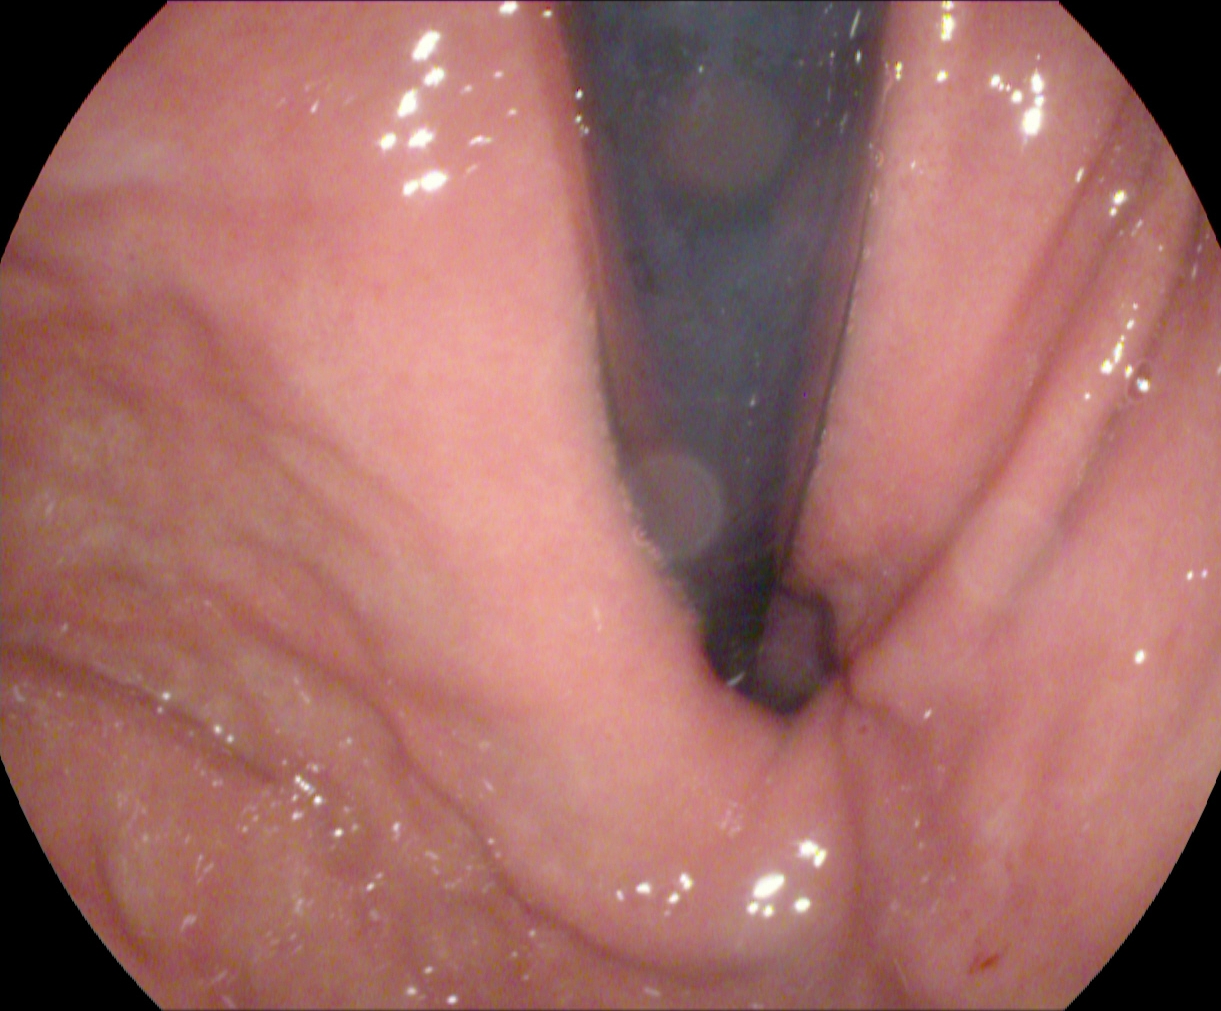Upper-GI endoscopy. Tract: upper GI tract. Anatomical landmark. Finding: stomach in retroflexion.